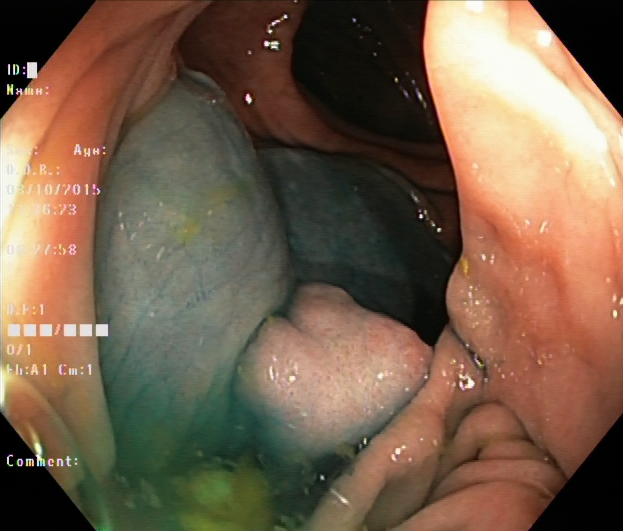This endoscopic image of the lower GI tract shows dyed and lifted polyp (pre-resection).